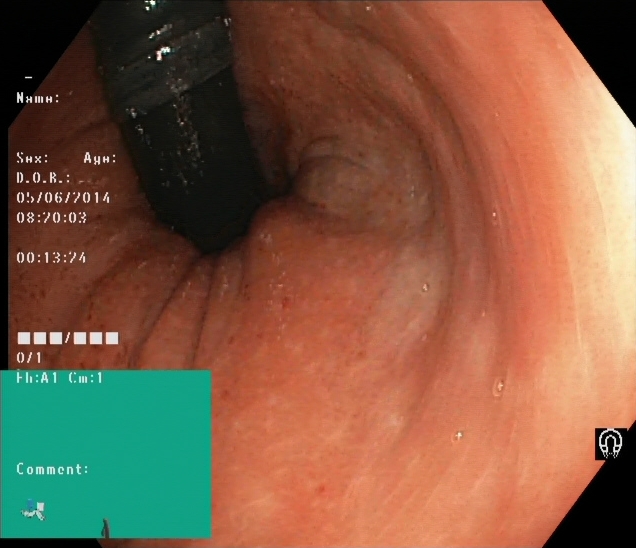modality: lower-GI endoscopy | category: anatomical landmark | finding: rectum in retroflexion